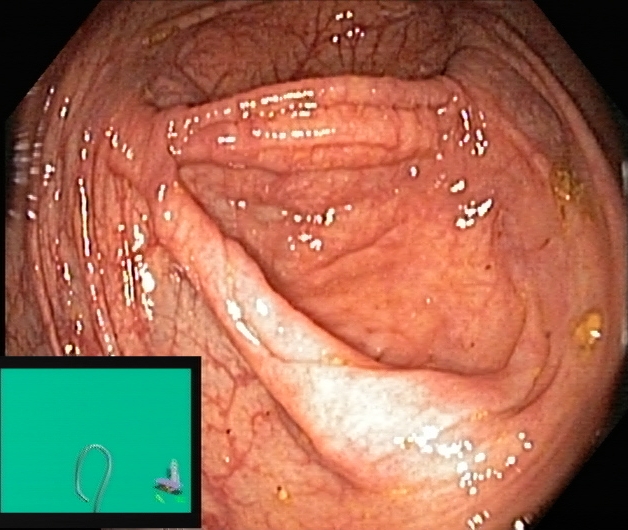Colonoscopy. Tract: lower GI tract. Anatomical landmark. Finding: cecum.